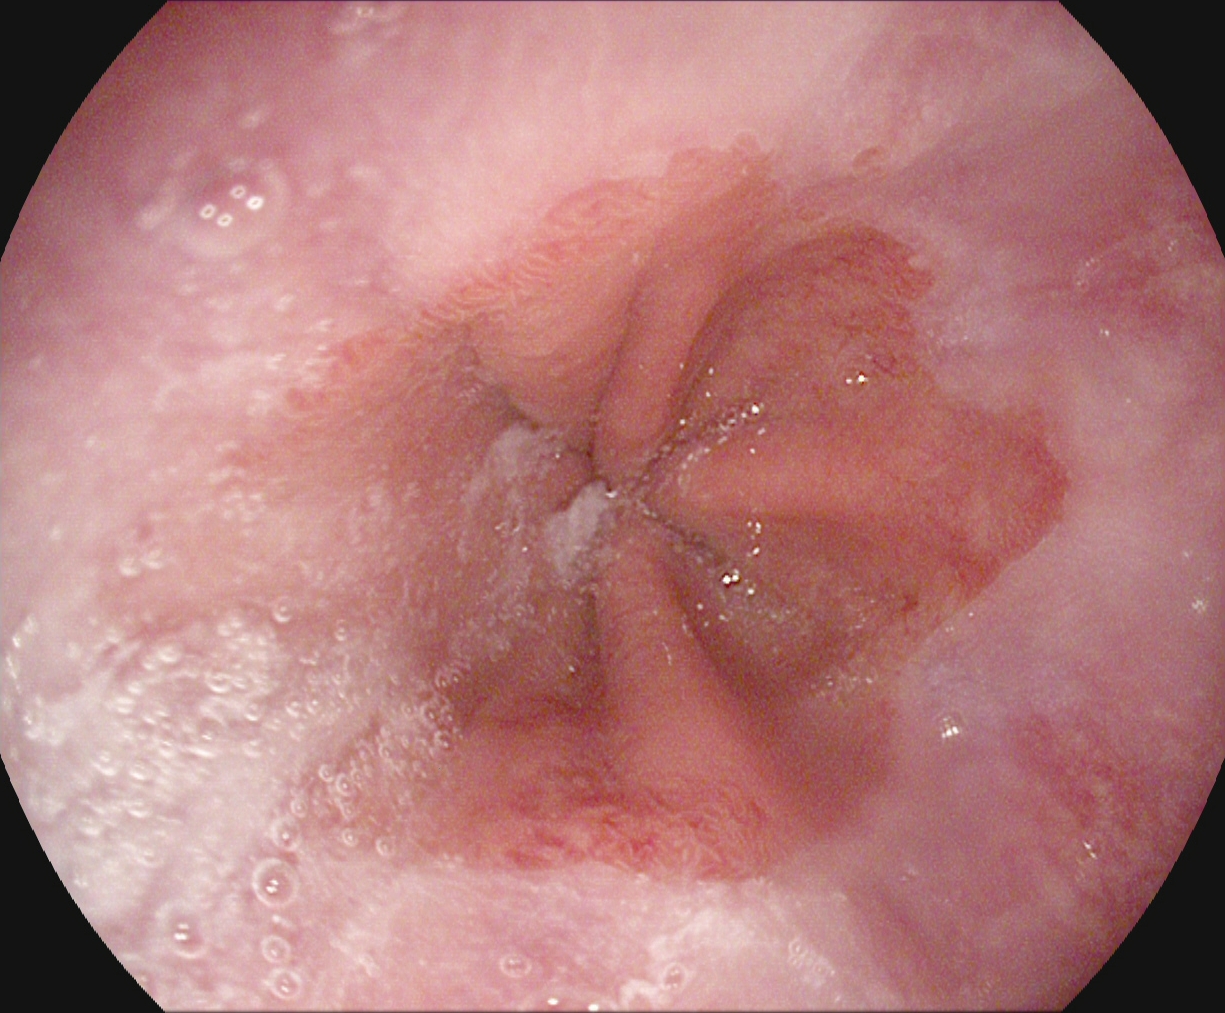{"modality": "gastroscopy", "finding": "Z-line (gastroesophageal junction)"}